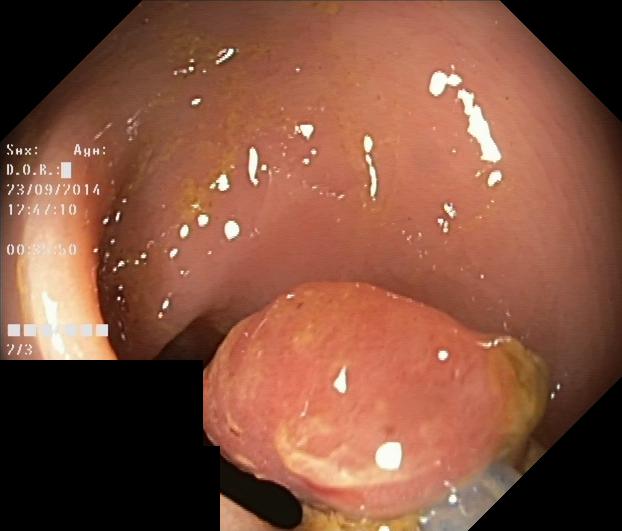Endoscopy image of the lower GI tract showing colorectal polyp(s).